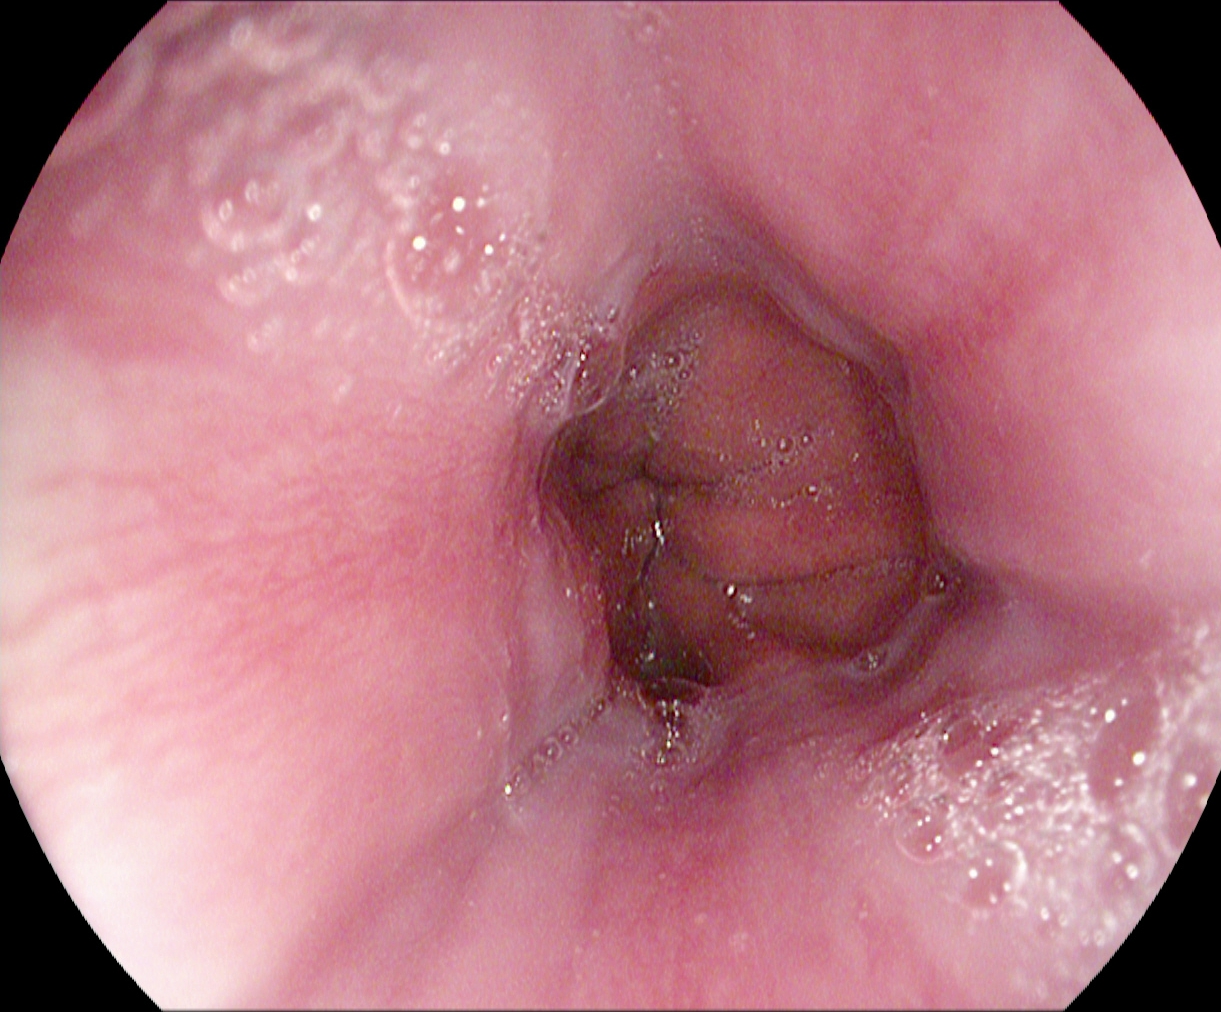PROCEDURE: EGD.
FINDINGS: Z-line (gastroesophageal junction).